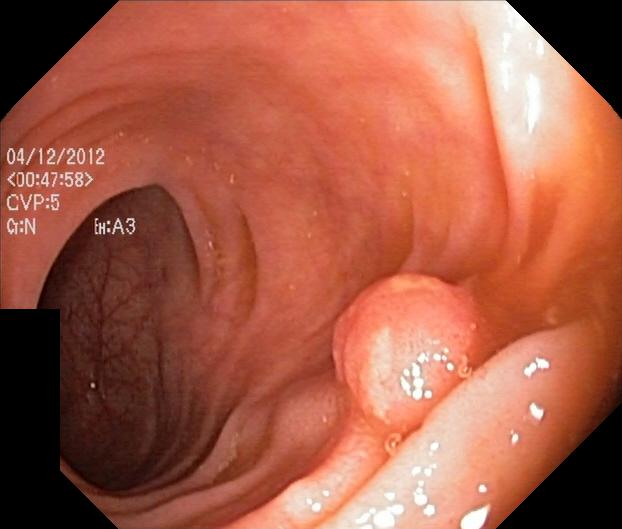Colorectal polyp(s).